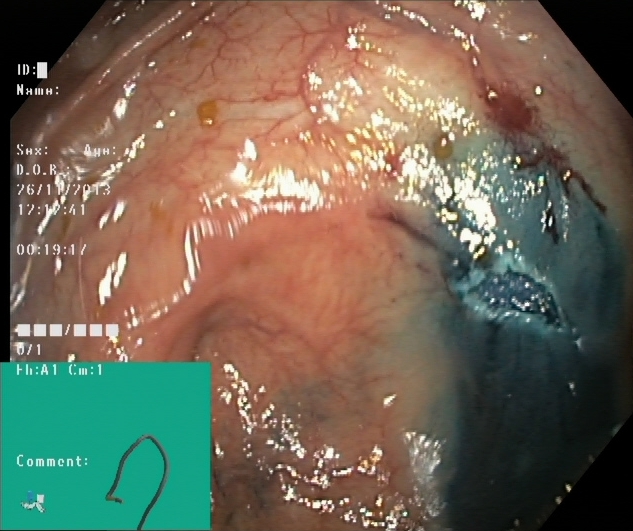dyed resection margins (post-polypectomy).